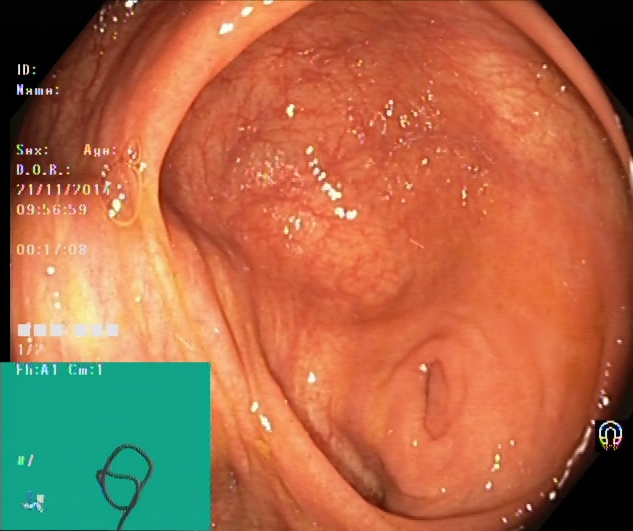Colonoscopy image of the lower GI tract showing cecum.